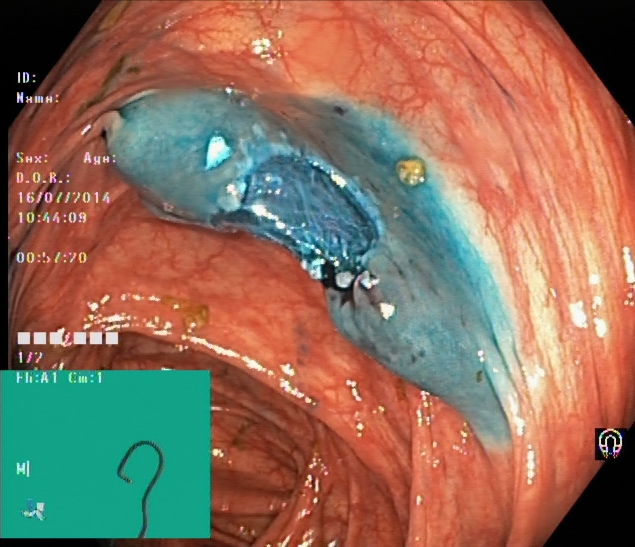Dyed resection margins (post-polypectomy).